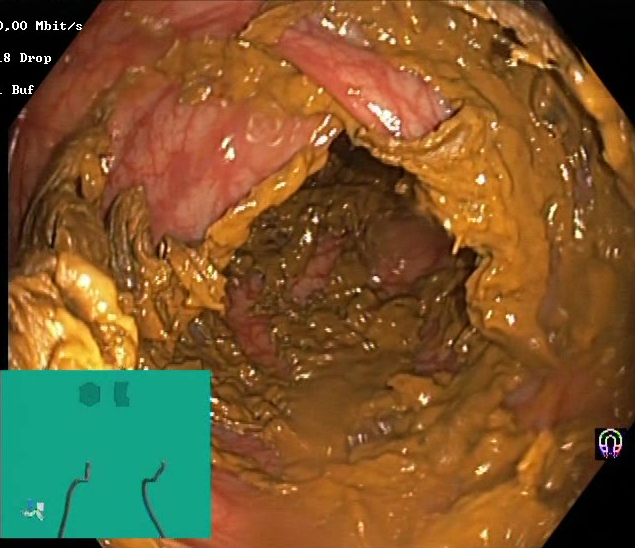Lower gastrointestinal endoscopy. Finding: Boston Bowel Preparation Scale score 0–1 (inadequate preparation).